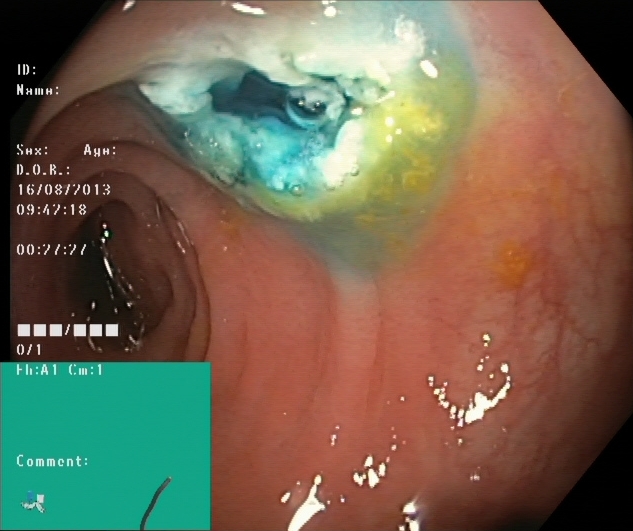This endoscopy frame shows dyed resection margins (post-polypectomy).